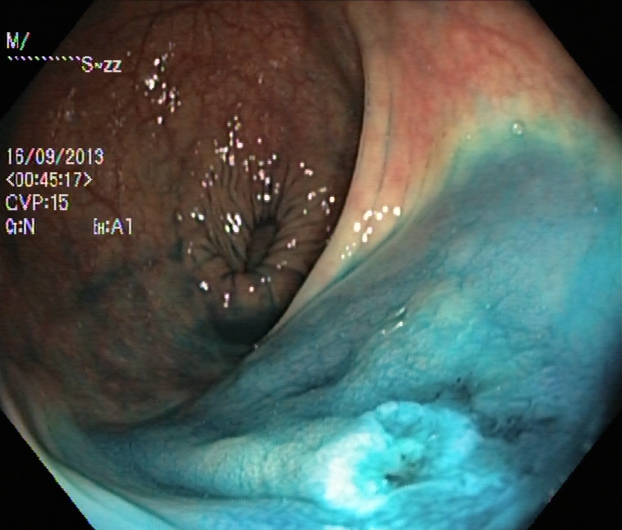PROCEDURE: Lower-GI endoscopy.
FINDINGS: Dyed and lifted polyp (pre-resection).